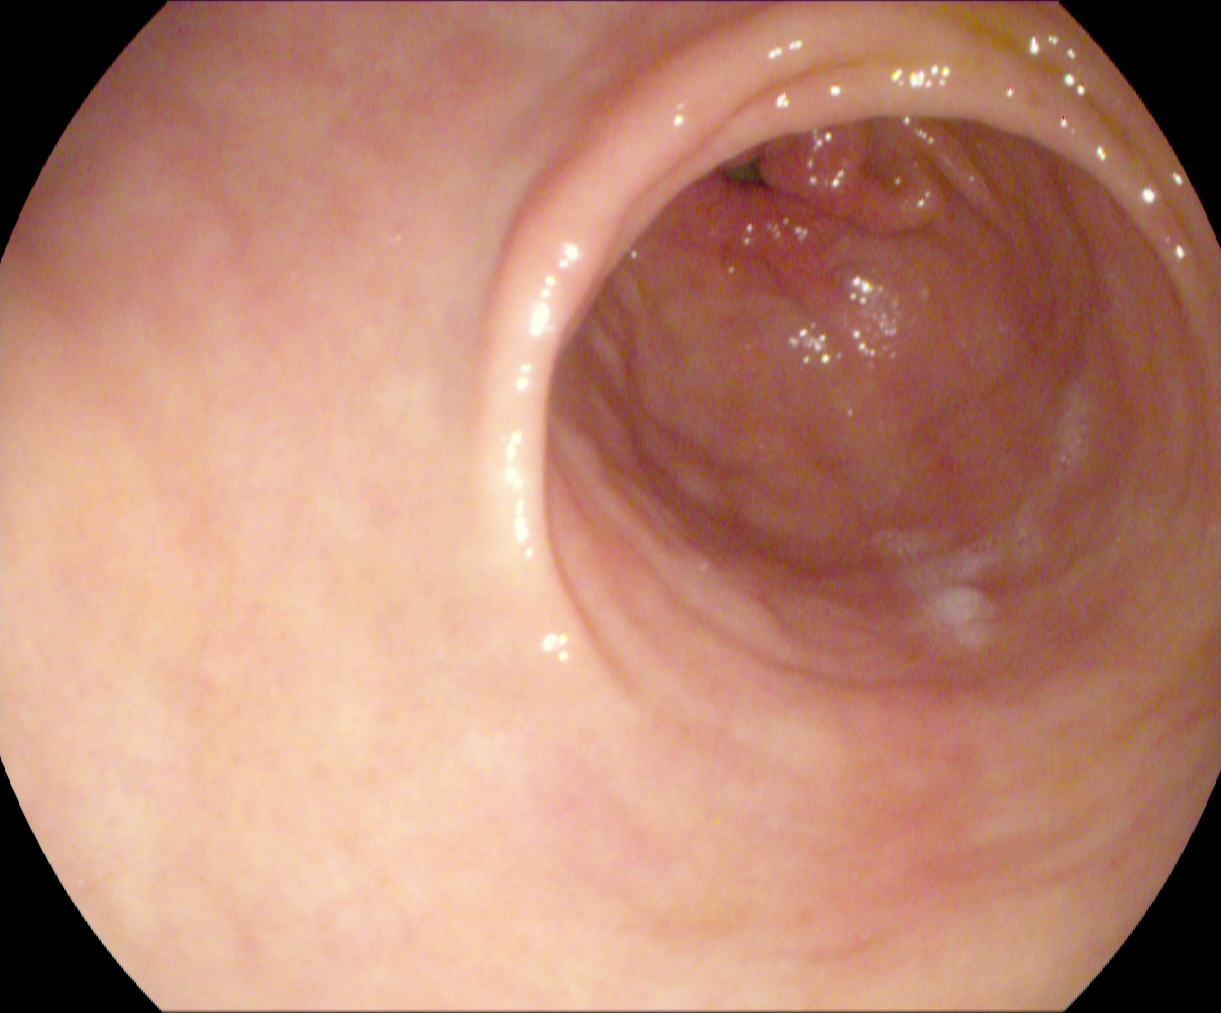Pylorus.